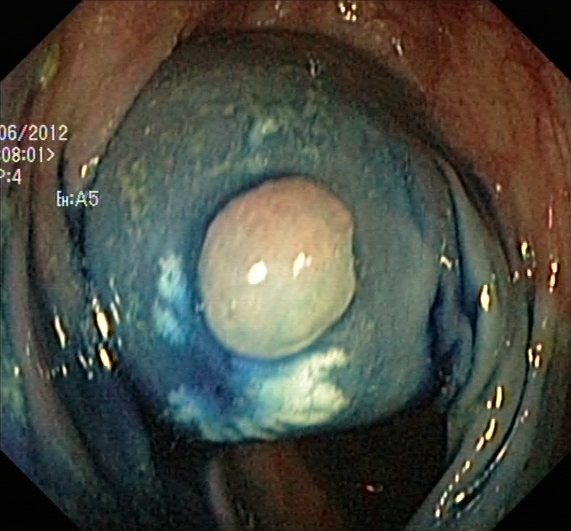GI endoscopy image of the lower GI tract showing dyed and lifted polyp (pre-resection).